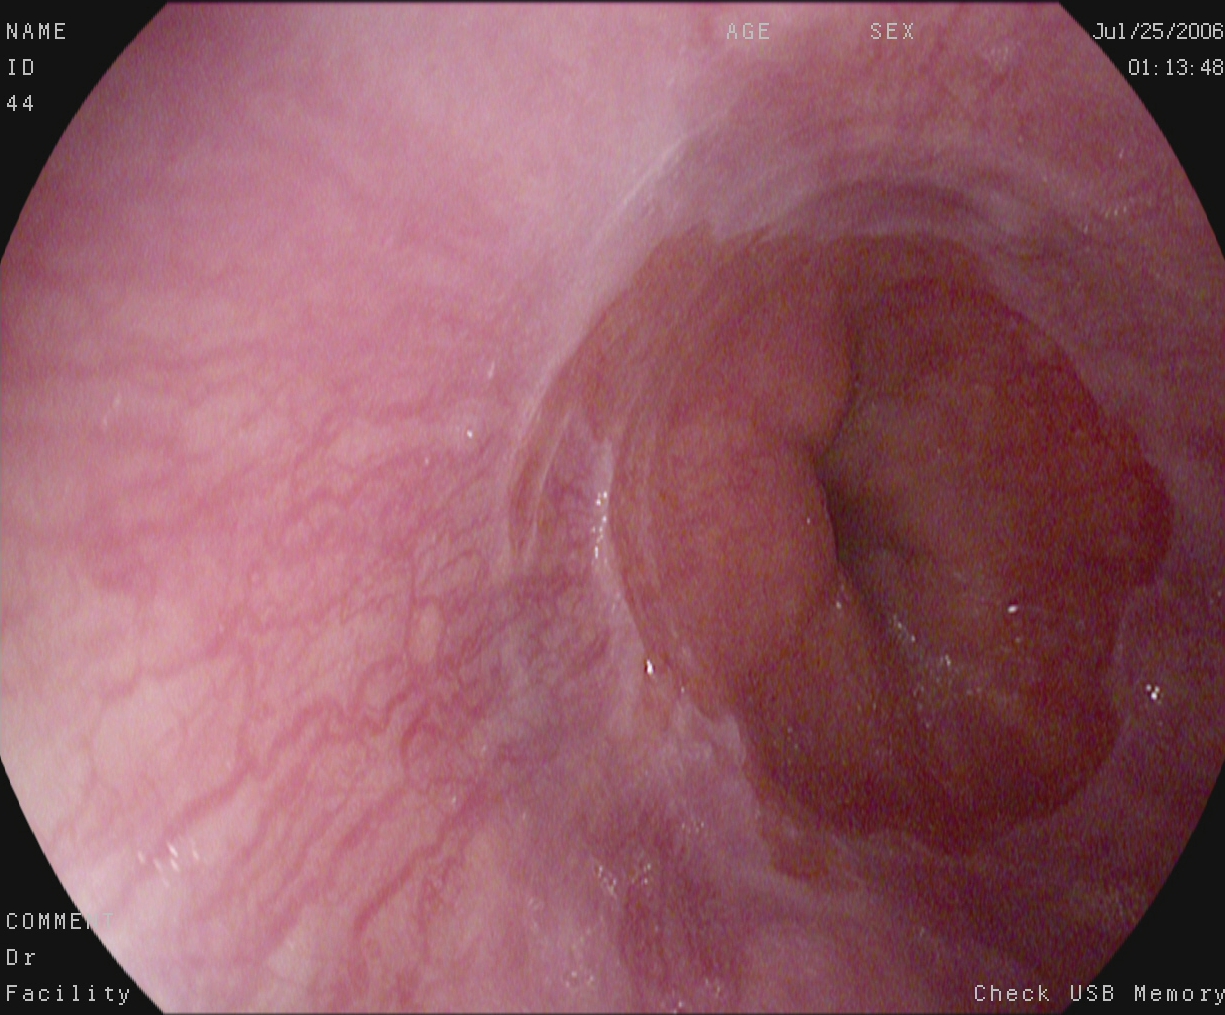This endoscopic image of the upper GI tract shows Z-line (gastroesophageal junction).